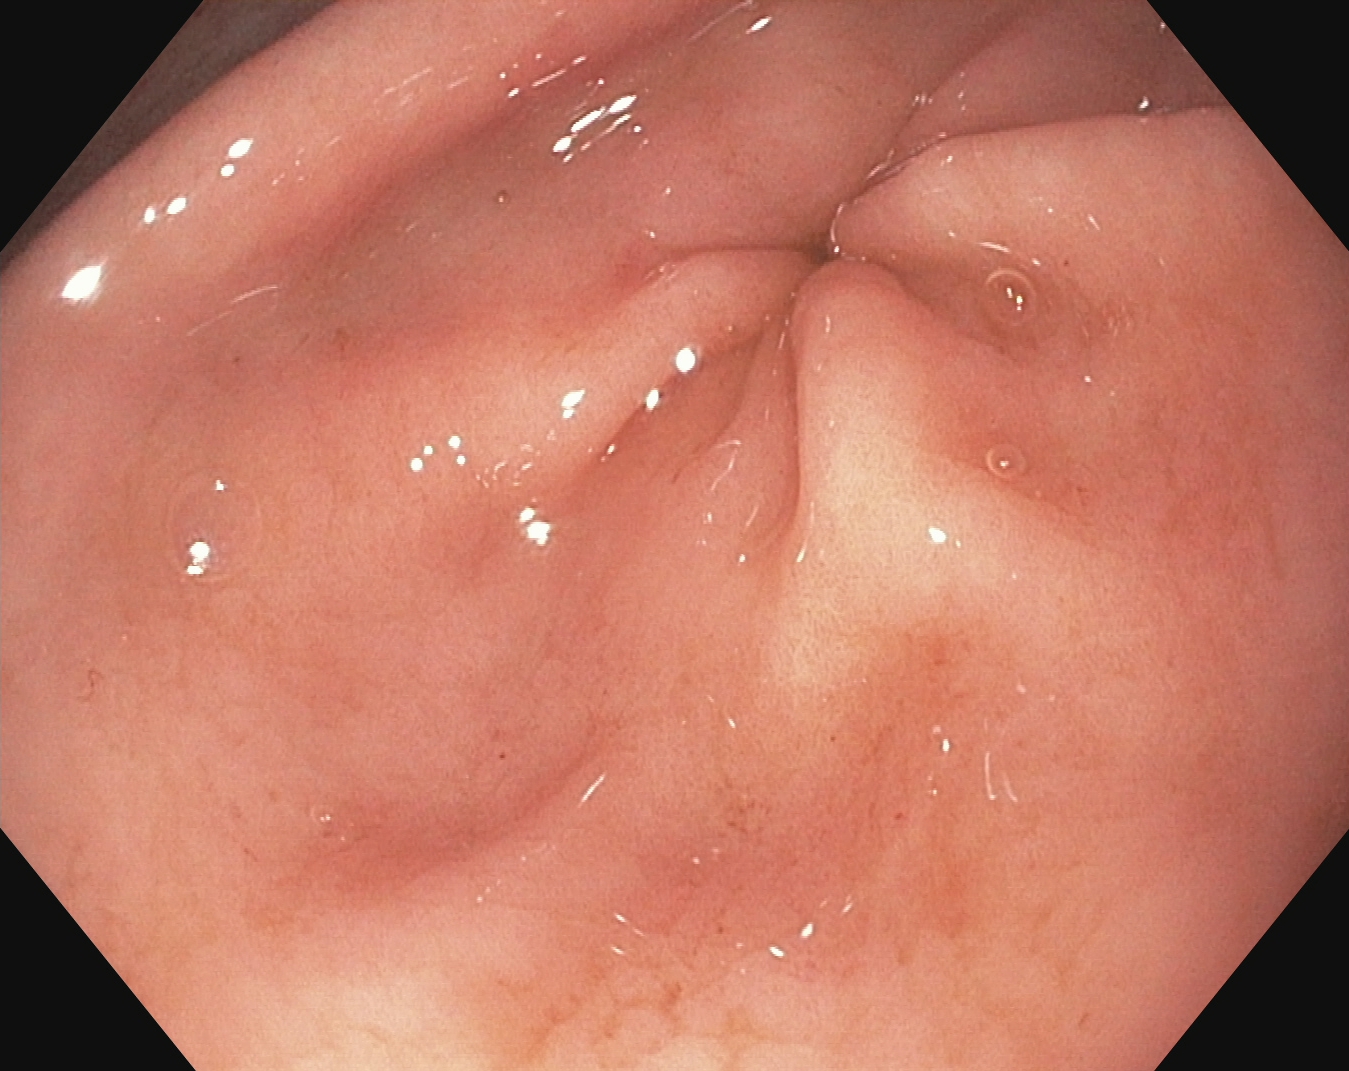PROCEDURE: EGD.
CATEGORY: Anatomical landmark.
FINDINGS: Pylorus.